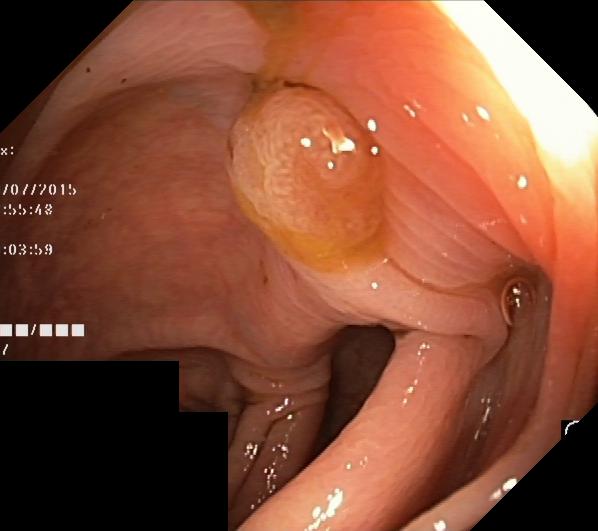Colorectal polyp(s).